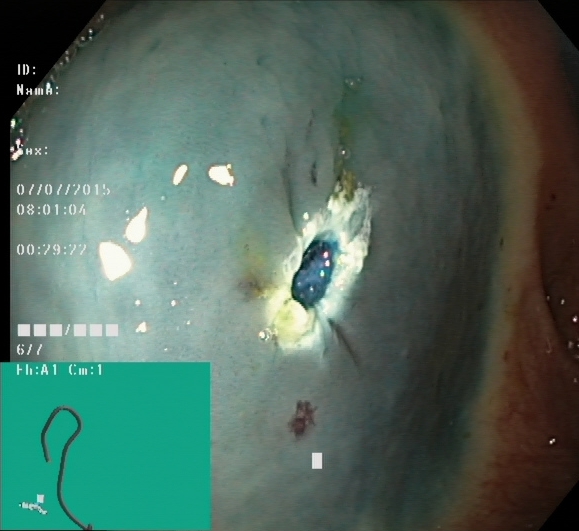Lower gastrointestinal endoscopy — dyed resection margins (post-polypectomy).